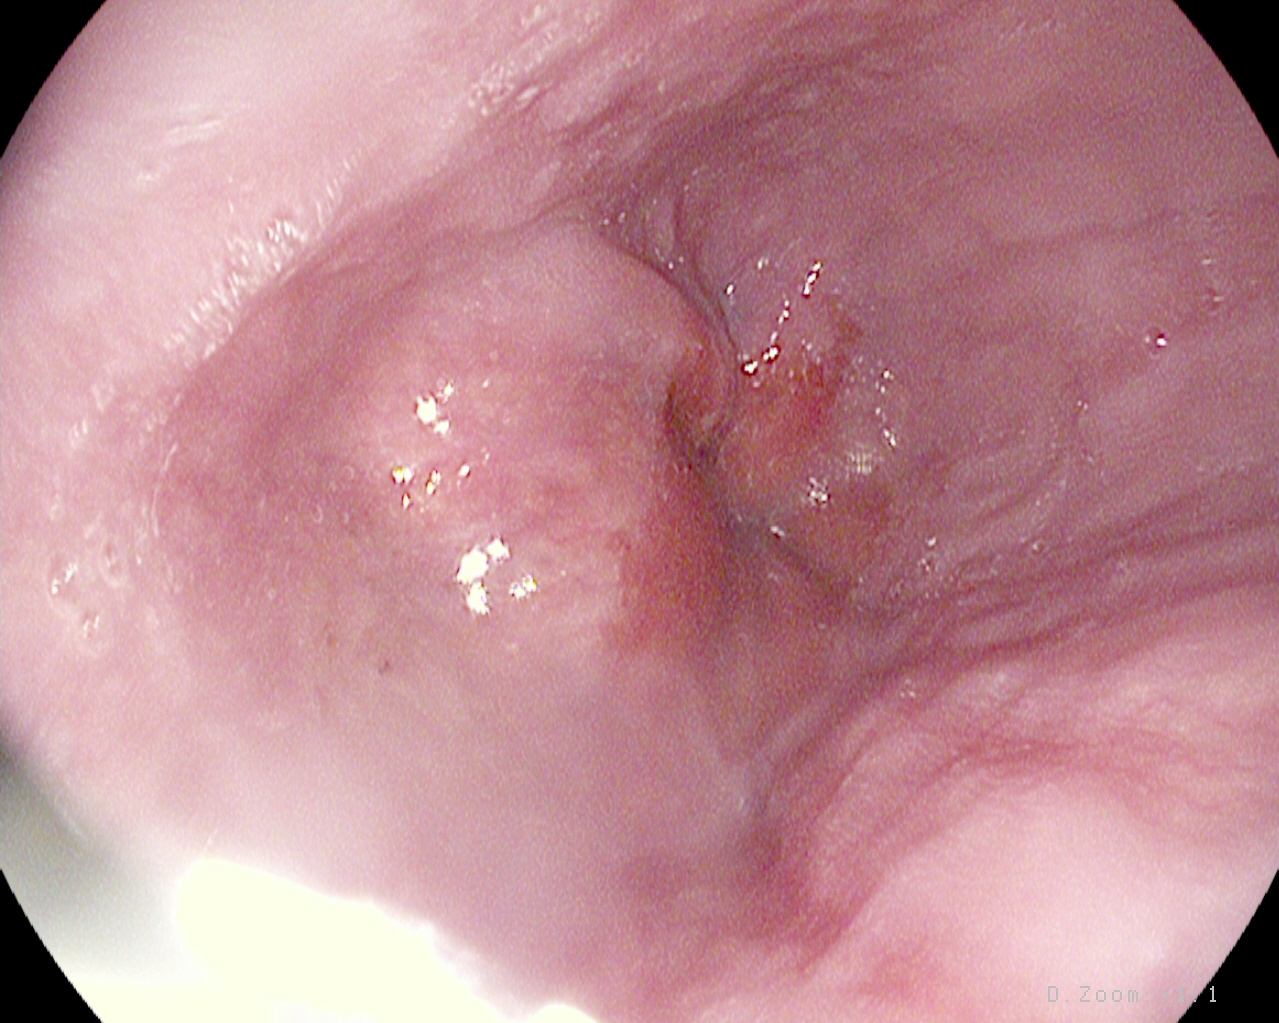This endoscopy frame of the upper GI tract shows Z-line (gastroesophageal junction).